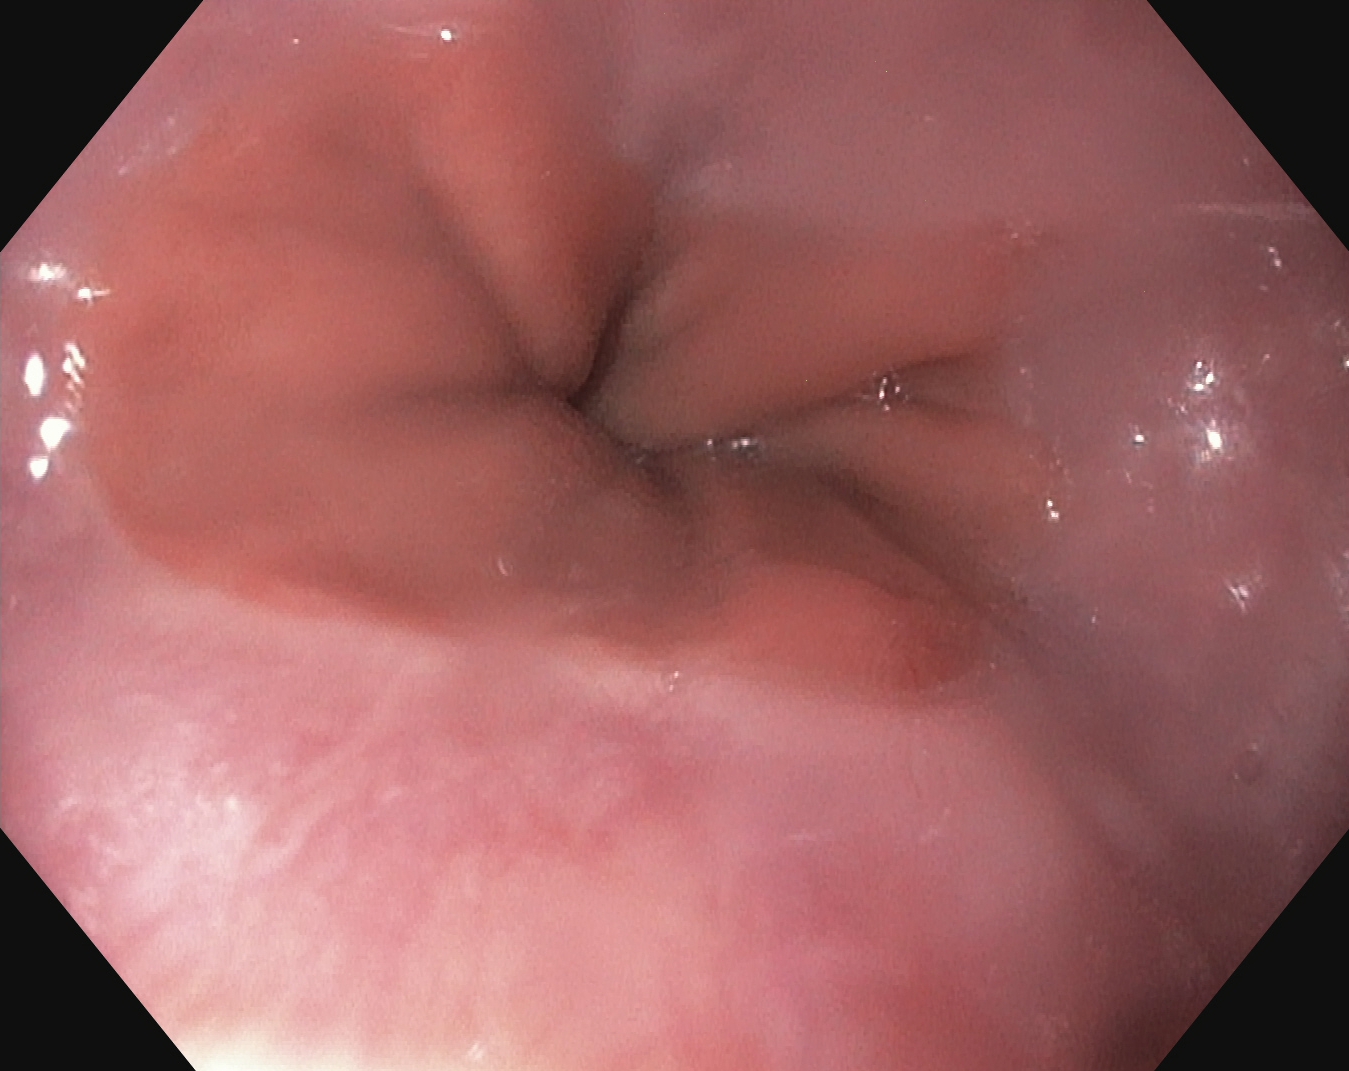Z-line (gastroesophageal junction).